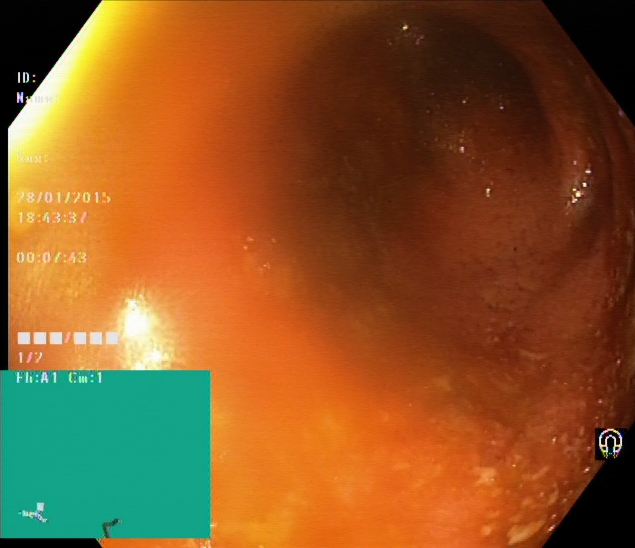Gastrointestinal endoscopy image of the lower GI tract showing UC, Mayo endoscopic subscore 2.